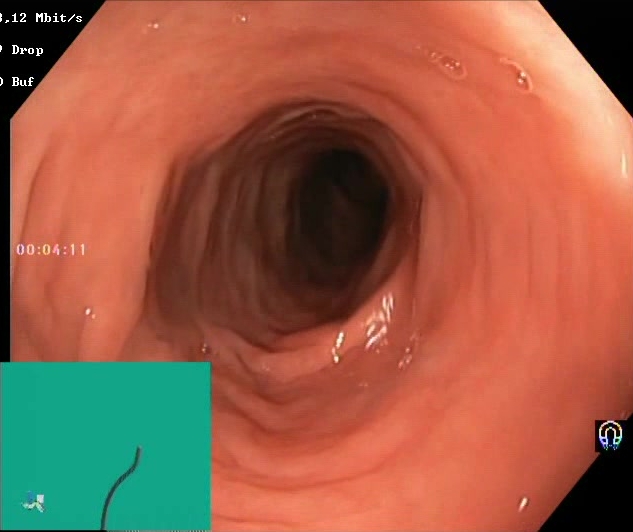modality: lower gastrointestinal endoscopy
tract: lower GI tract
category: mucosal-view quality
finding: Boston Bowel Preparation Scale score 2–3 (adequate preparation)